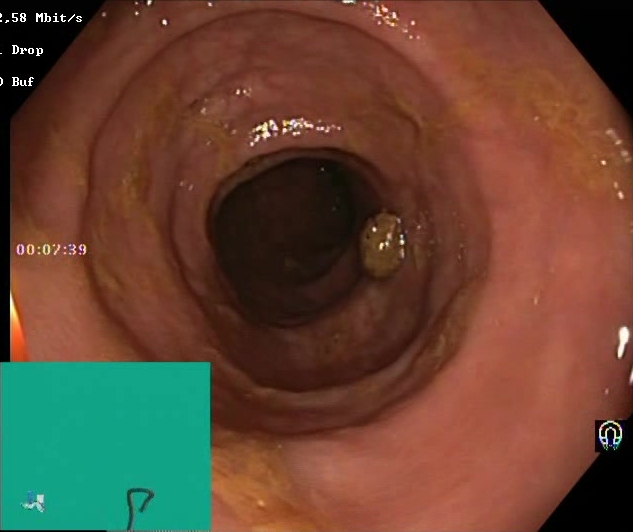PROCEDURE: Lower-GI endoscopy.
FINDINGS: Boston Bowel Preparation Scale score 2–3 (adequate preparation).